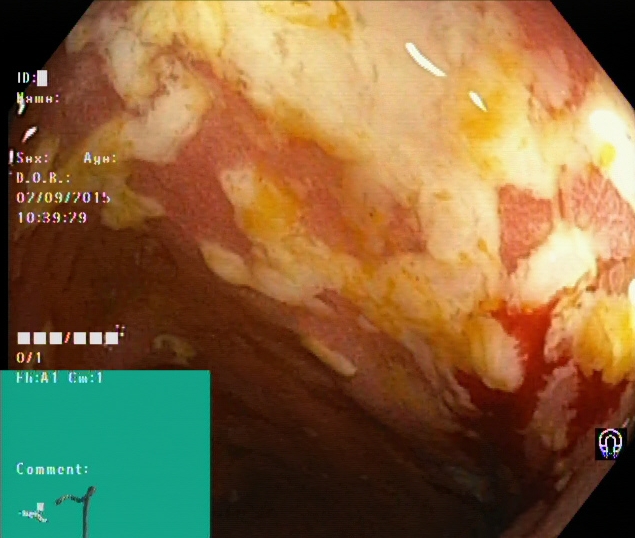UC, Mayo endoscopic subscore 2.